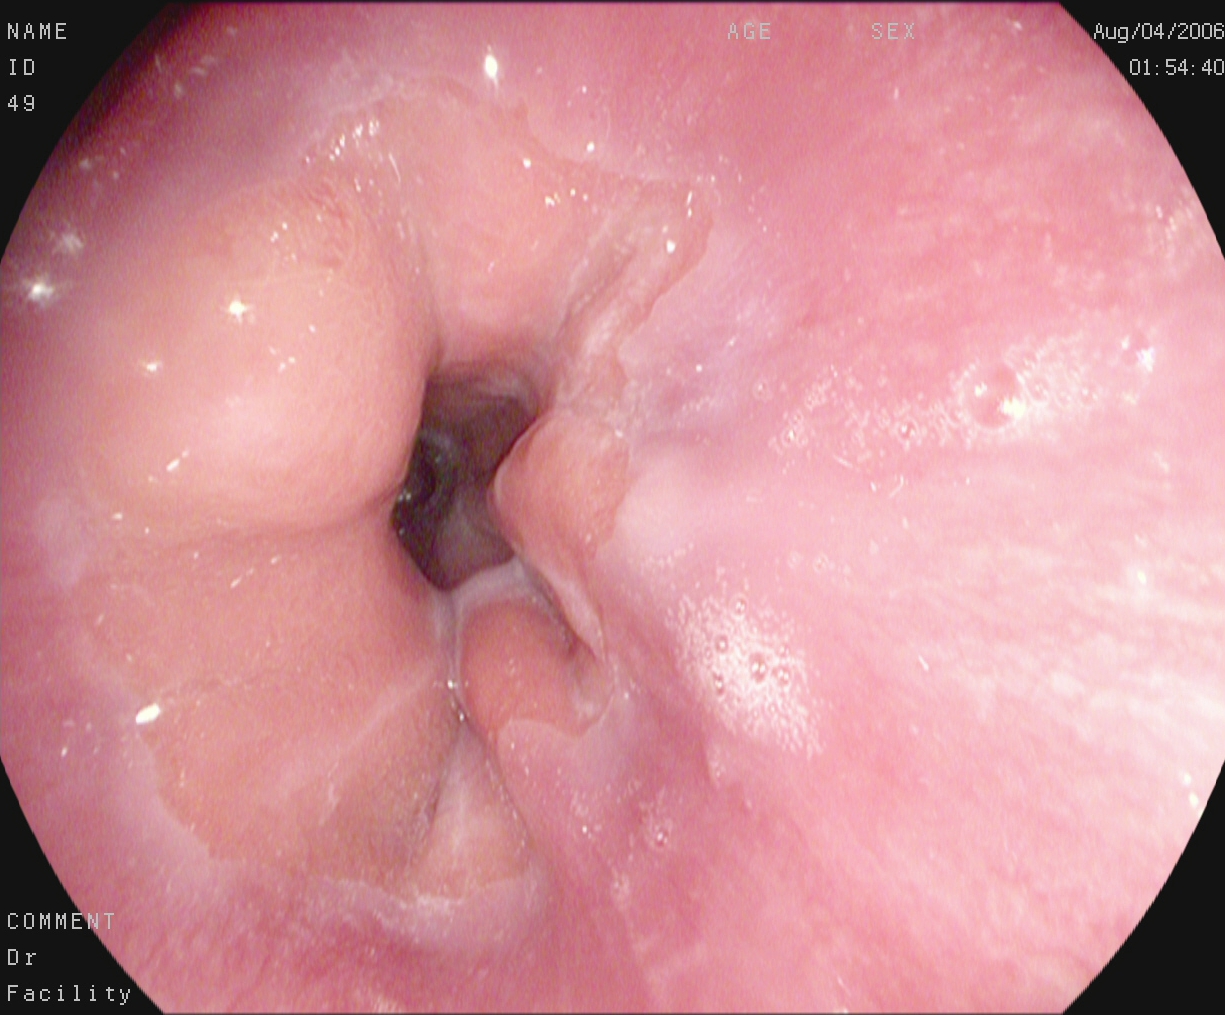PROCEDURE: Gastroscopy.
FINDINGS: Z-line (gastroesophageal junction).